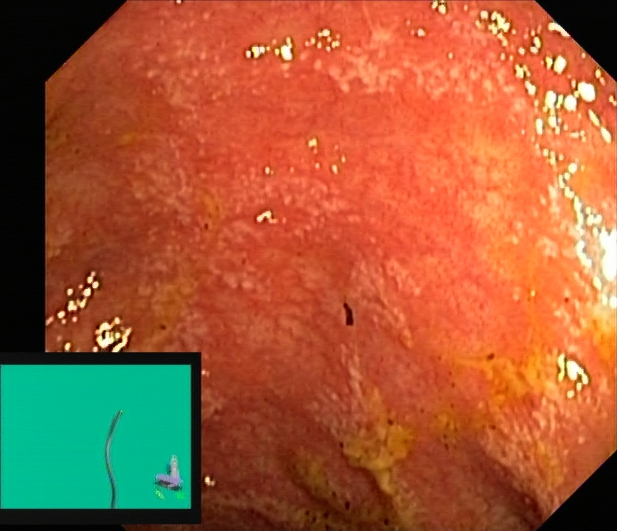{"modality": "lower-GI endoscopy", "tract": "lower GI tract", "category": "pathological finding", "finding": "ulcerative colitis, Mayo endoscopic subscore 1"}